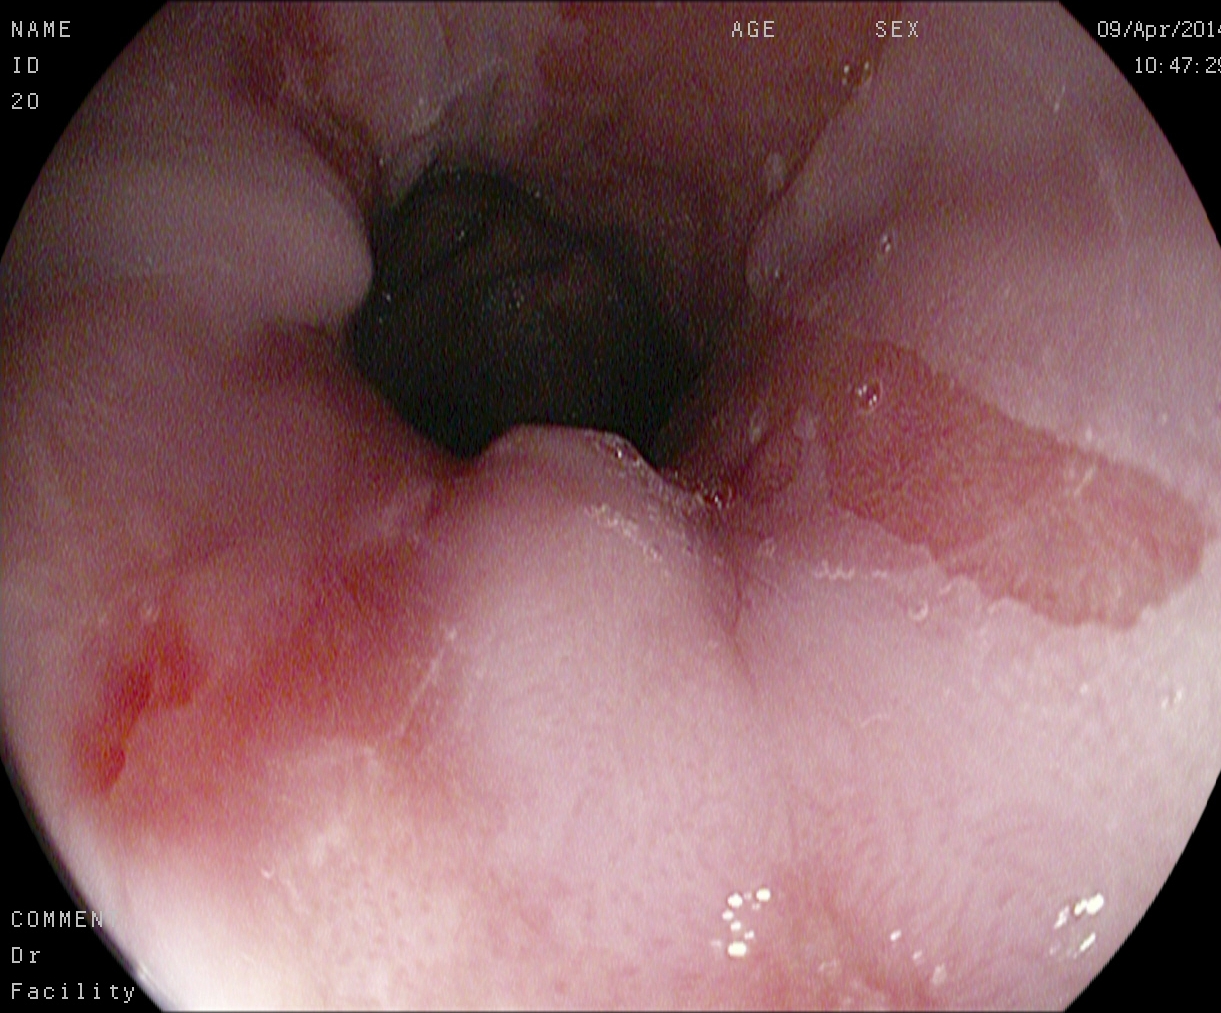Endoscopic image of the upper GI tract showing Barrett's esophagus.